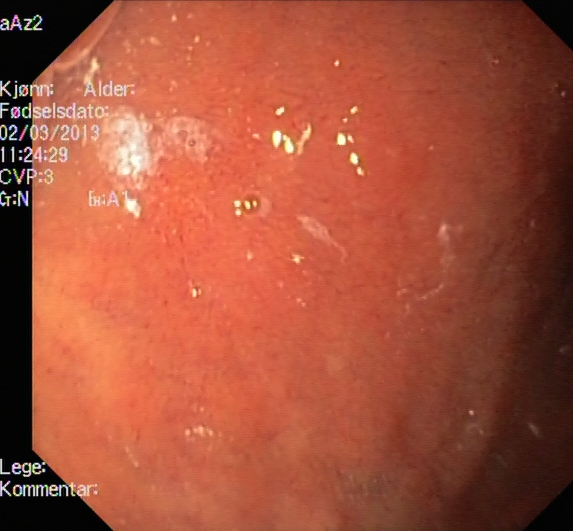Ulcerative colitis, Mayo endoscopic subscore 2.